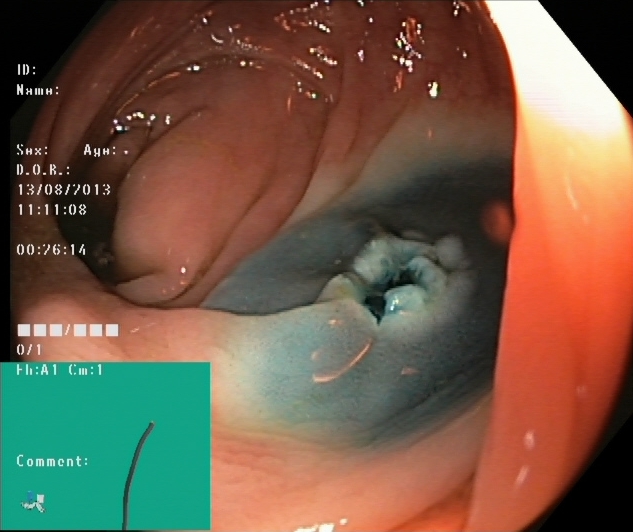Lower gastrointestinal endoscopy — dyed resection margins (post-polypectomy).